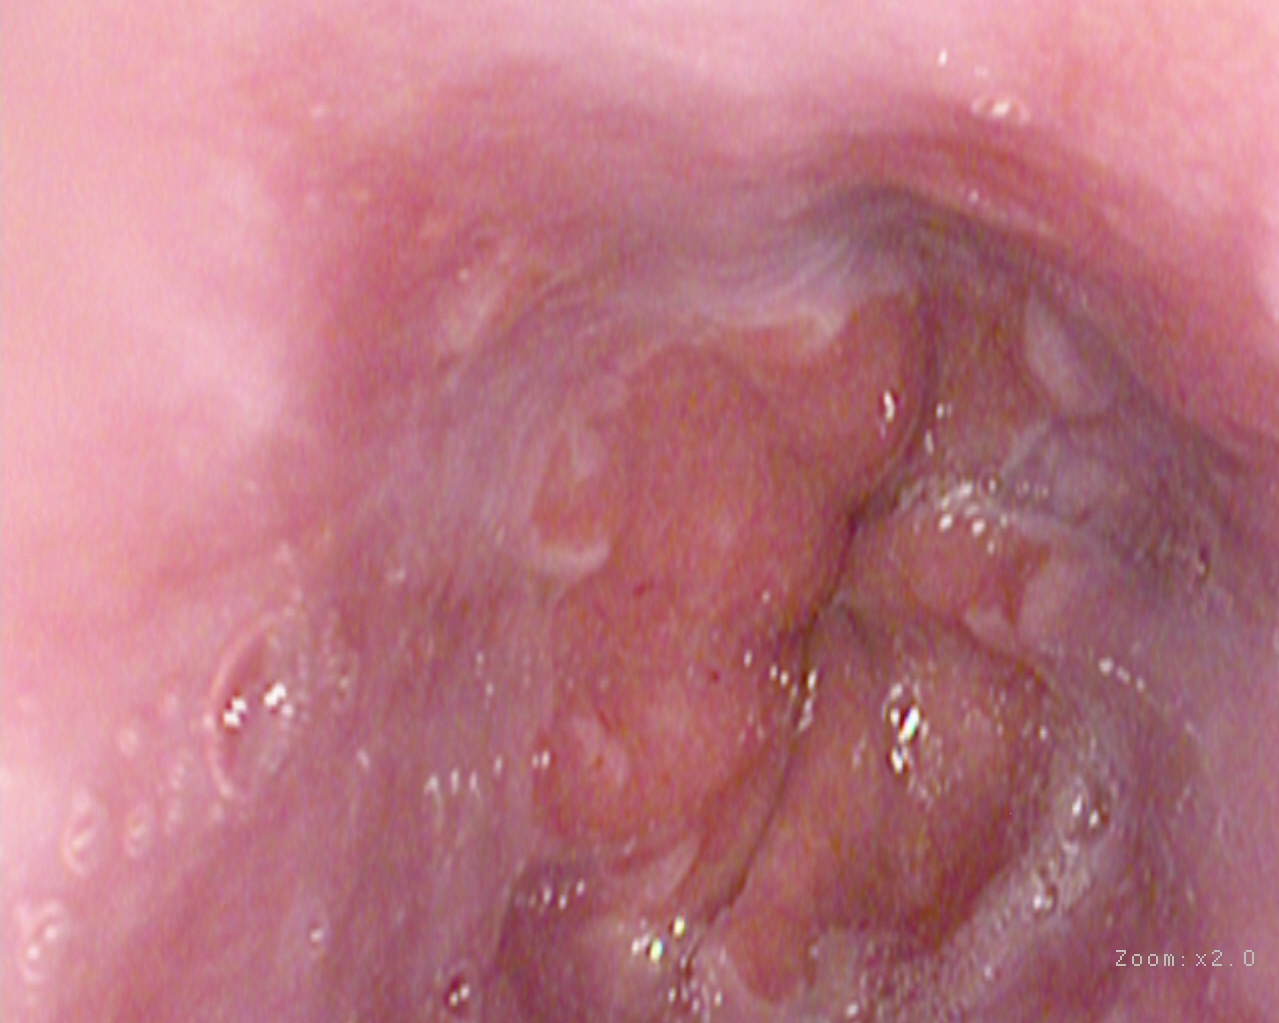PROCEDURE: Upper-GI endoscopy.
FINDINGS: Z-line (gastroesophageal junction).